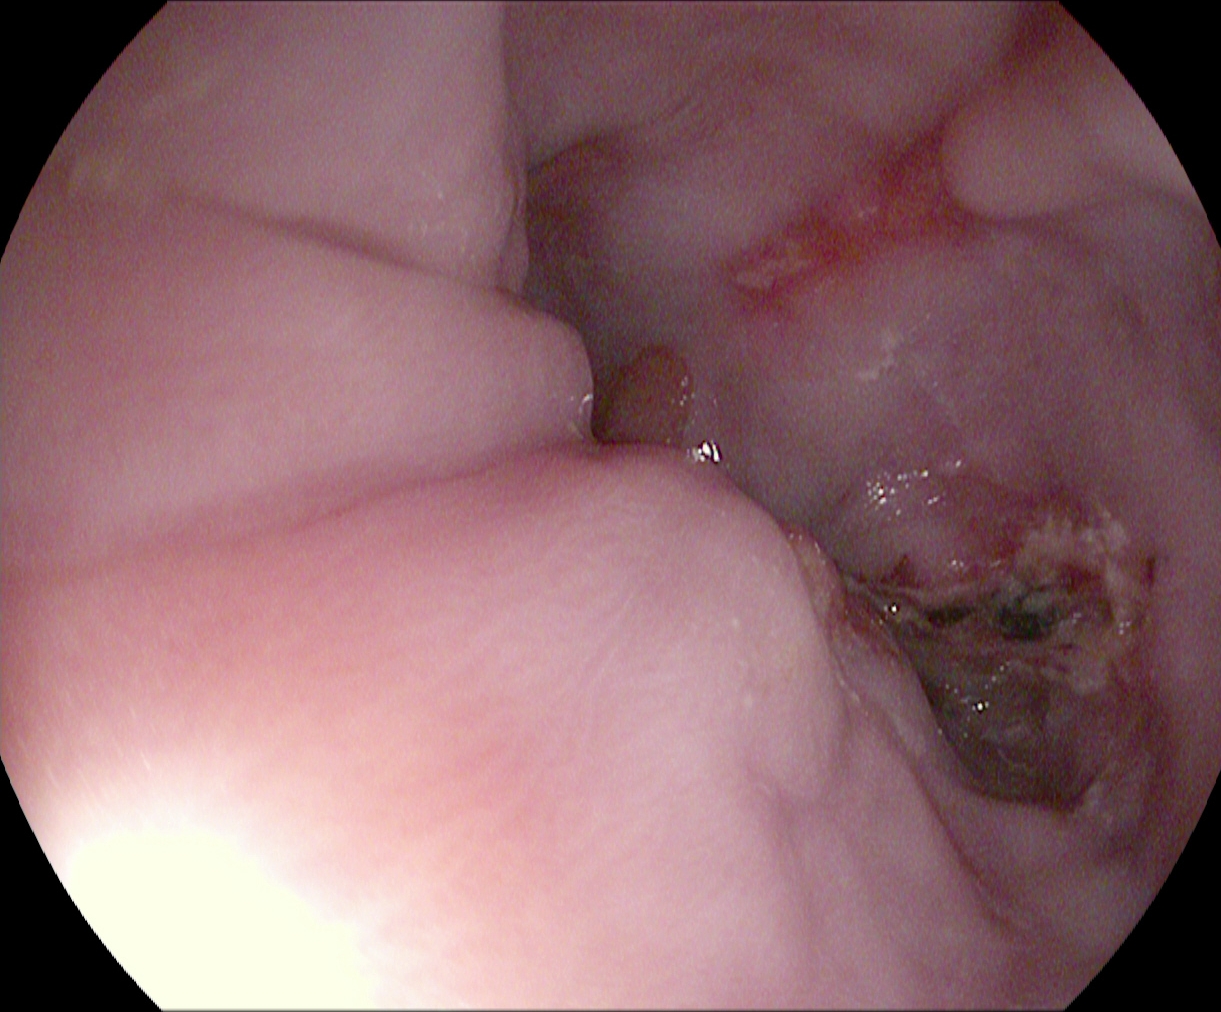Reflux esophagitis, Los Angeles grade B–D.